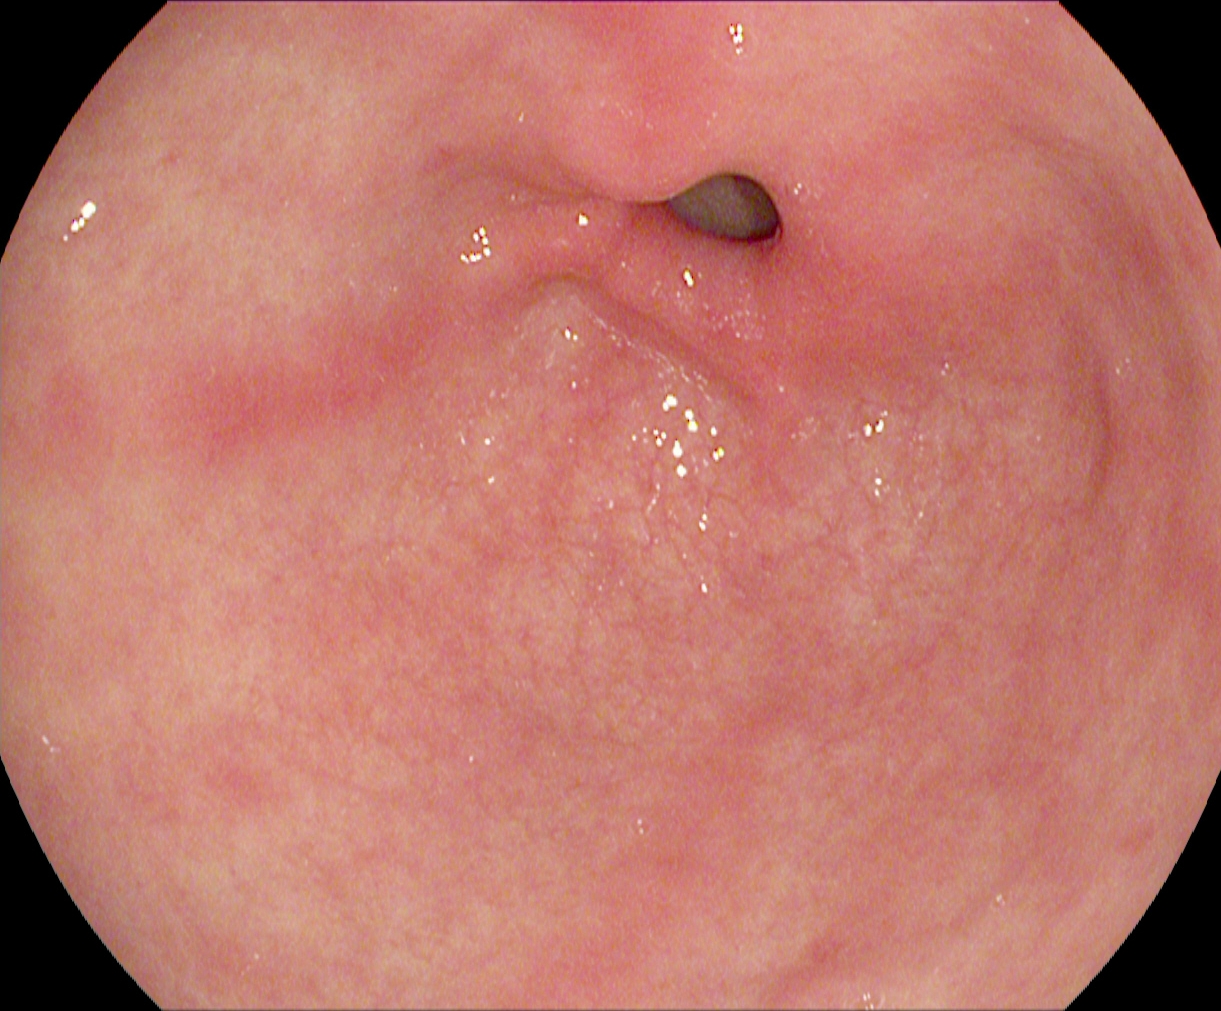Pylorus.